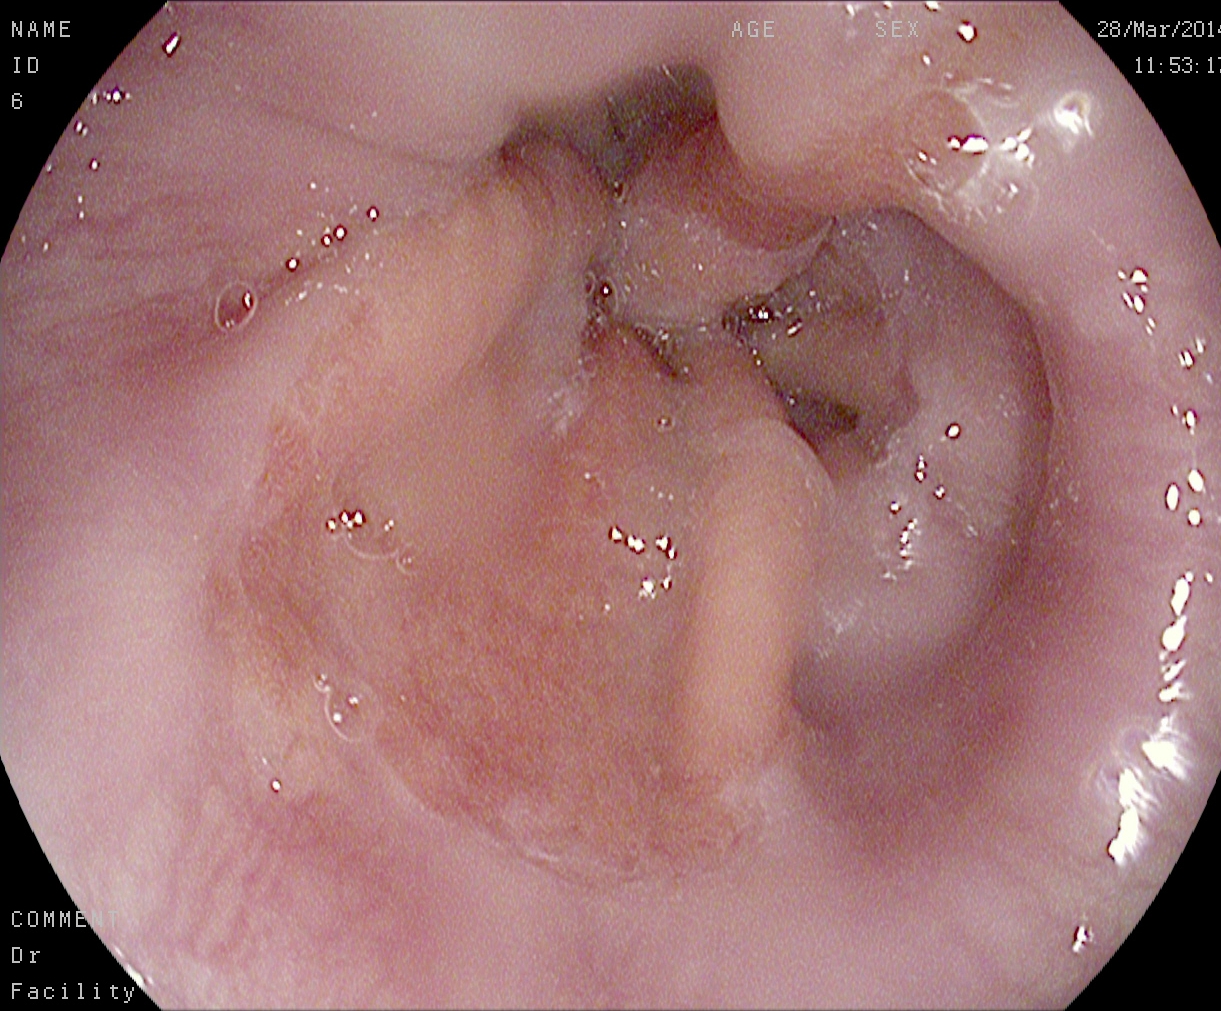PROCEDURE: Upper-GI endoscopy.
CATEGORY: Anatomical landmark.
FINDINGS: Z-line (gastroesophageal junction).